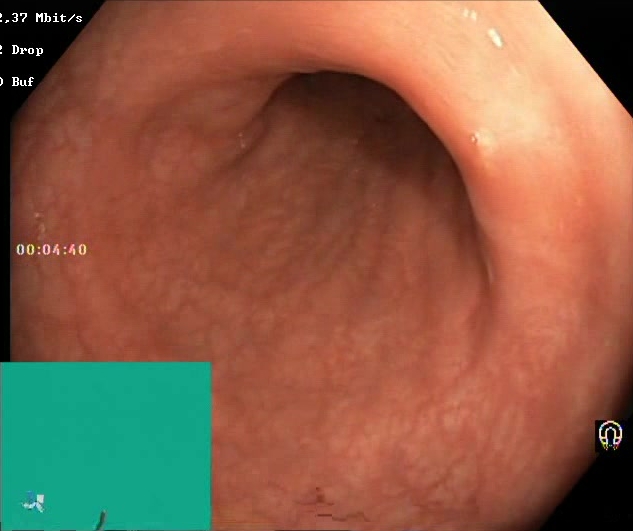PROCEDURE: Lower gastrointestinal endoscopy.
FINDINGS: Boston Bowel Preparation Scale score 2–3 (adequate preparation).